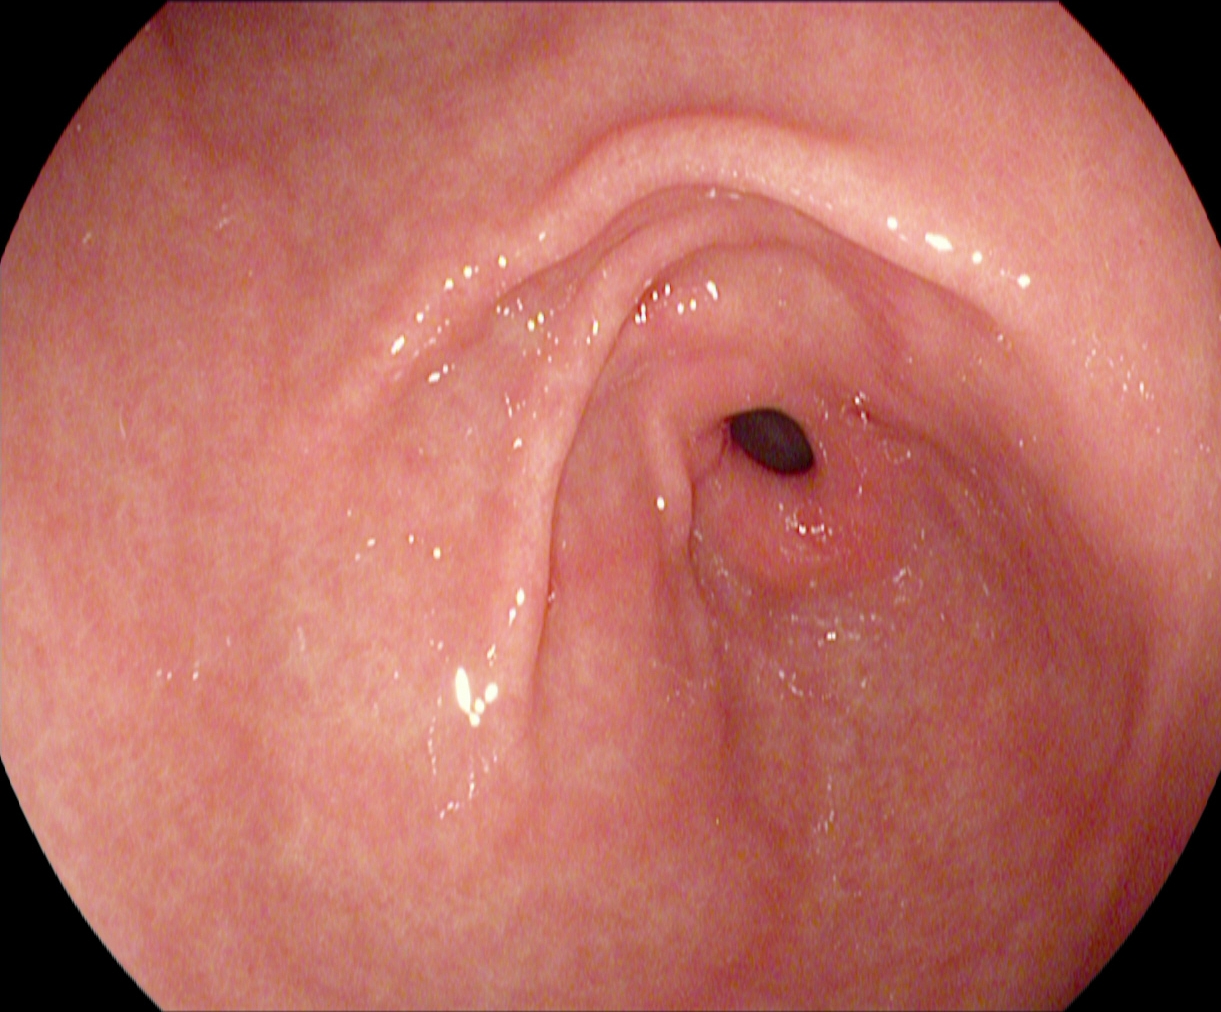Endoscopy image showing pylorus.